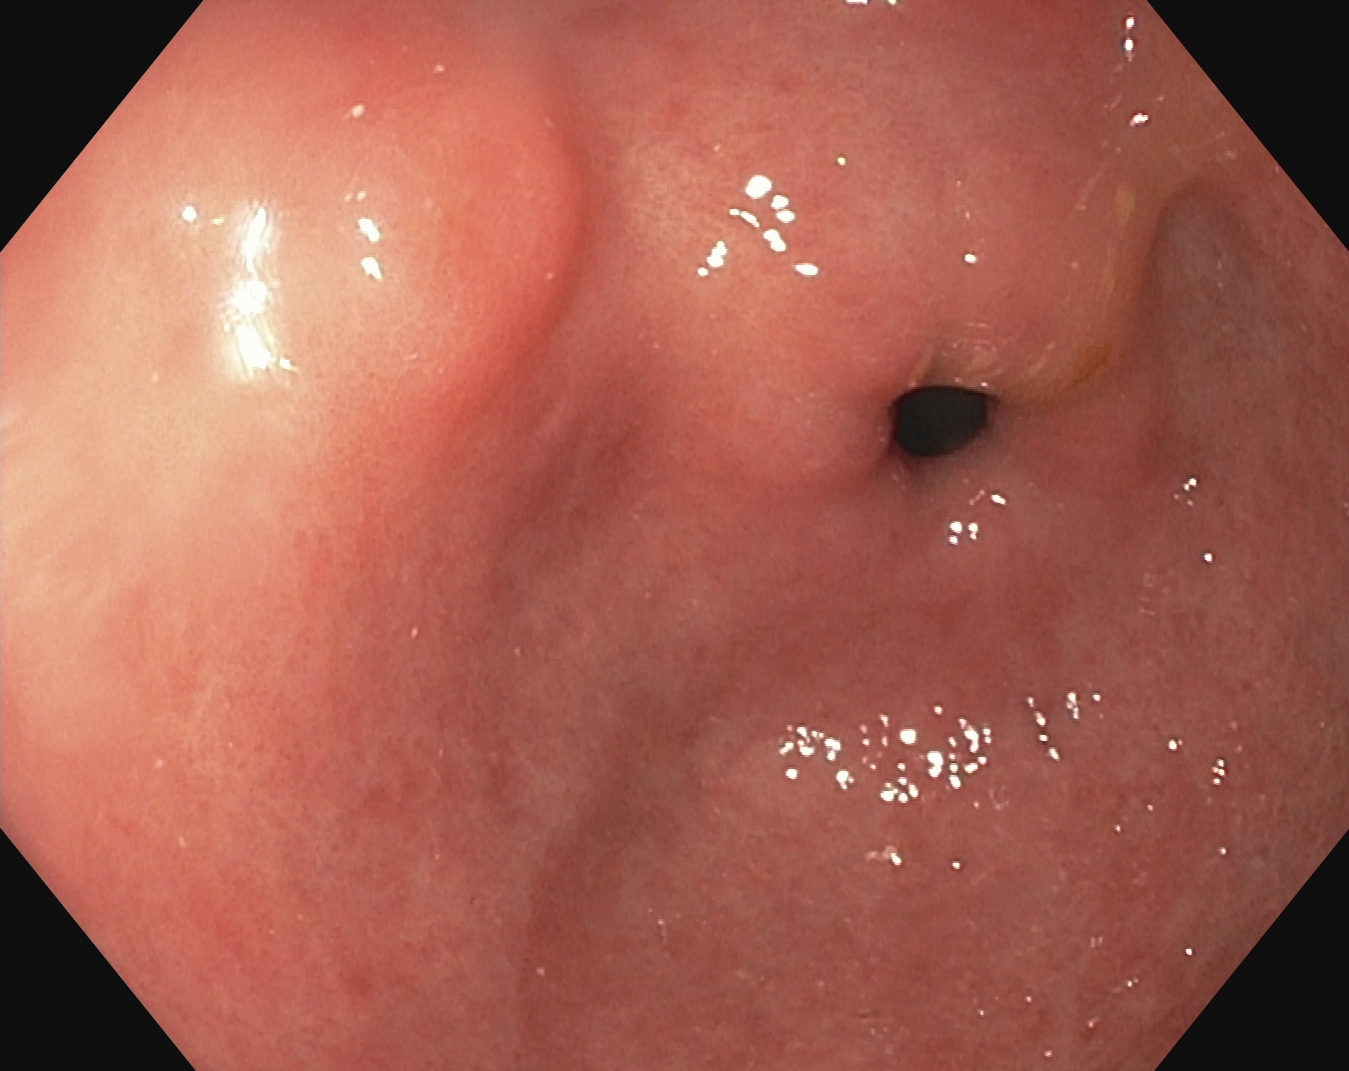{"modality": "esophagogastroduodenoscopy", "tract": "upper GI tract", "finding": "pylorus"}